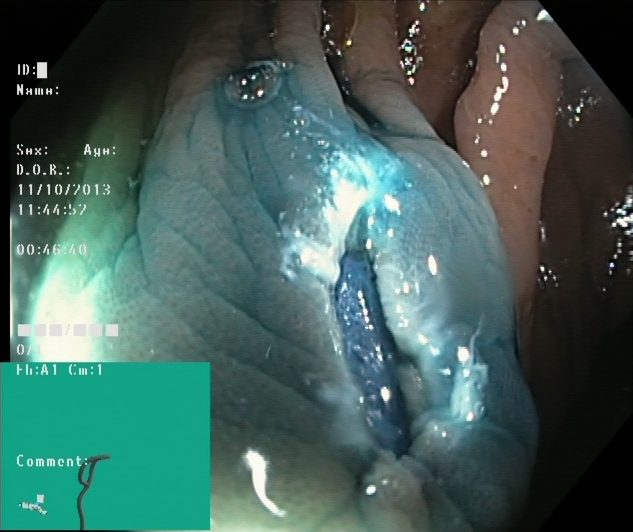Dyed resection margins (post-polypectomy).